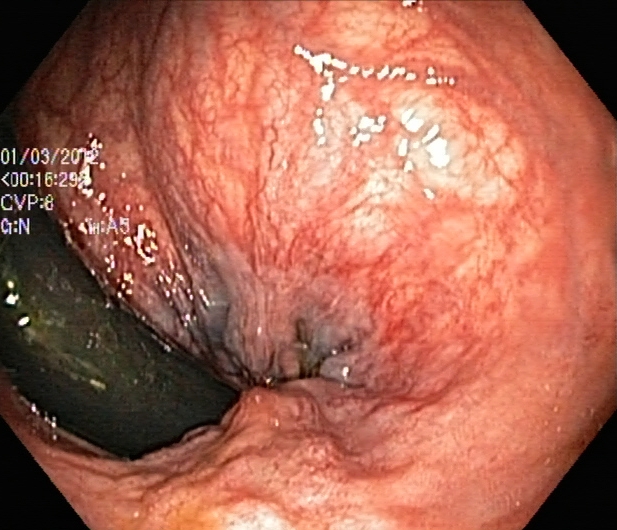PROCEDURE: Lower-GI endoscopy.
CATEGORY: Anatomical landmark.
FINDINGS: Rectum in retroflexion.